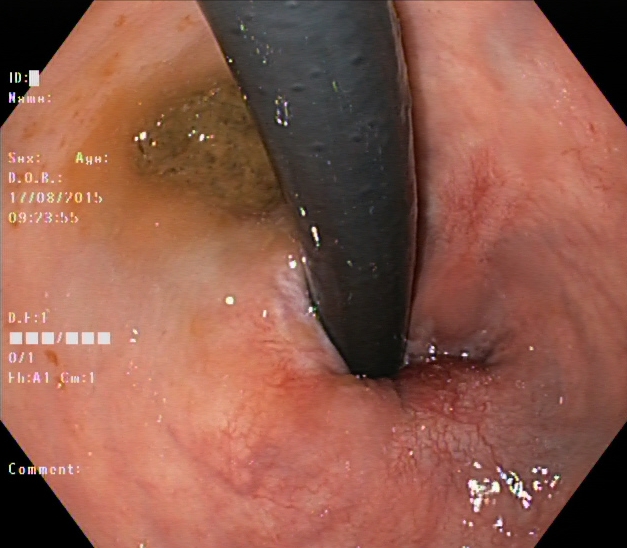stomach in retroflexion.